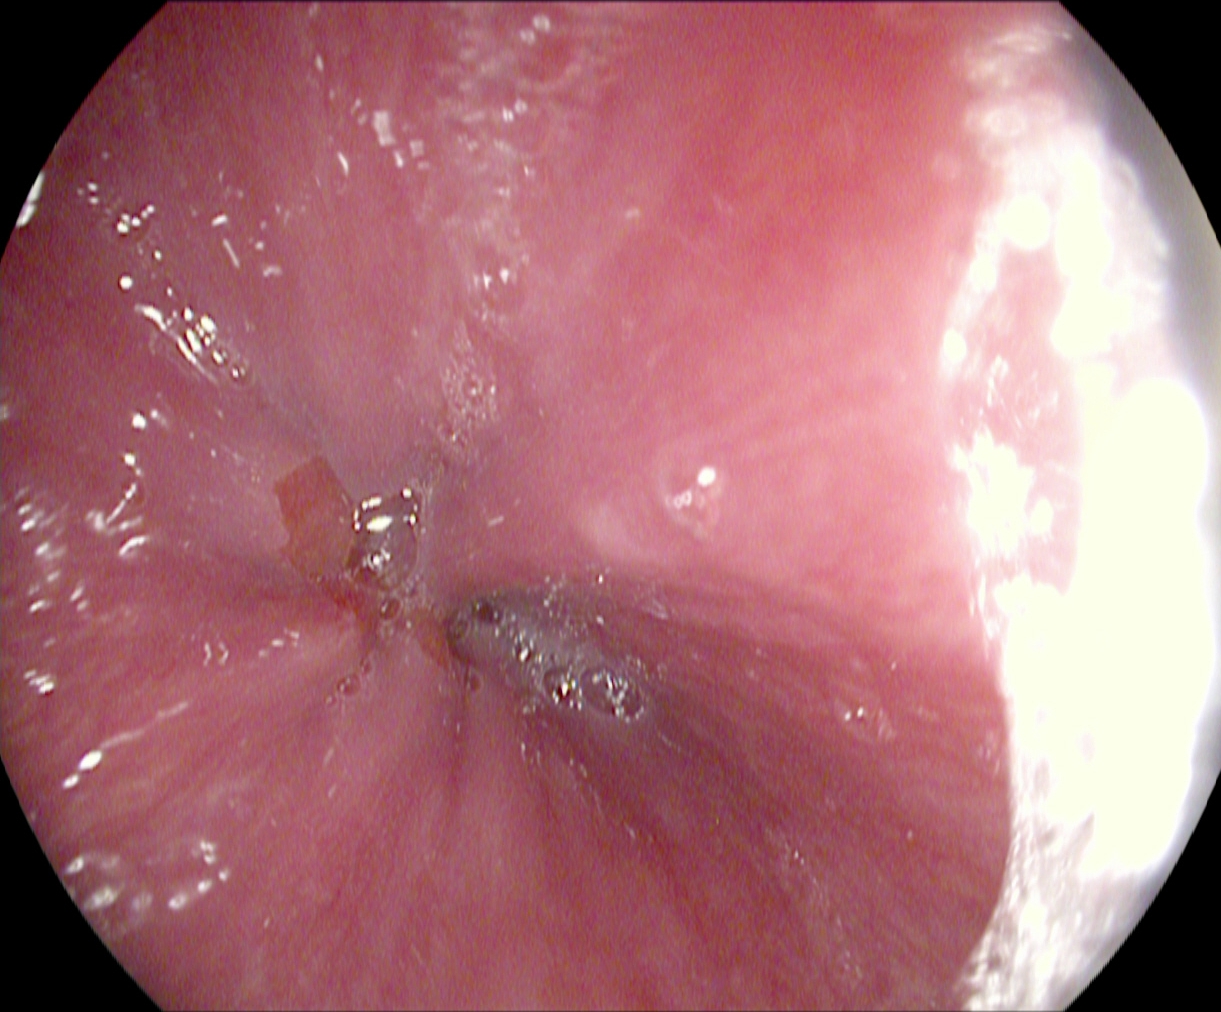Endoscopic frame showing Z-line (gastroesophageal junction).